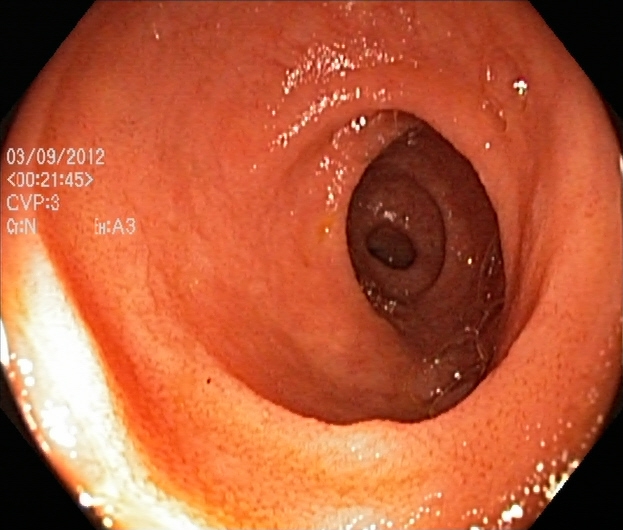This endoscopy frame of the lower GI tract shows ulcerative colitis, Mayo endoscopic subscore 2.